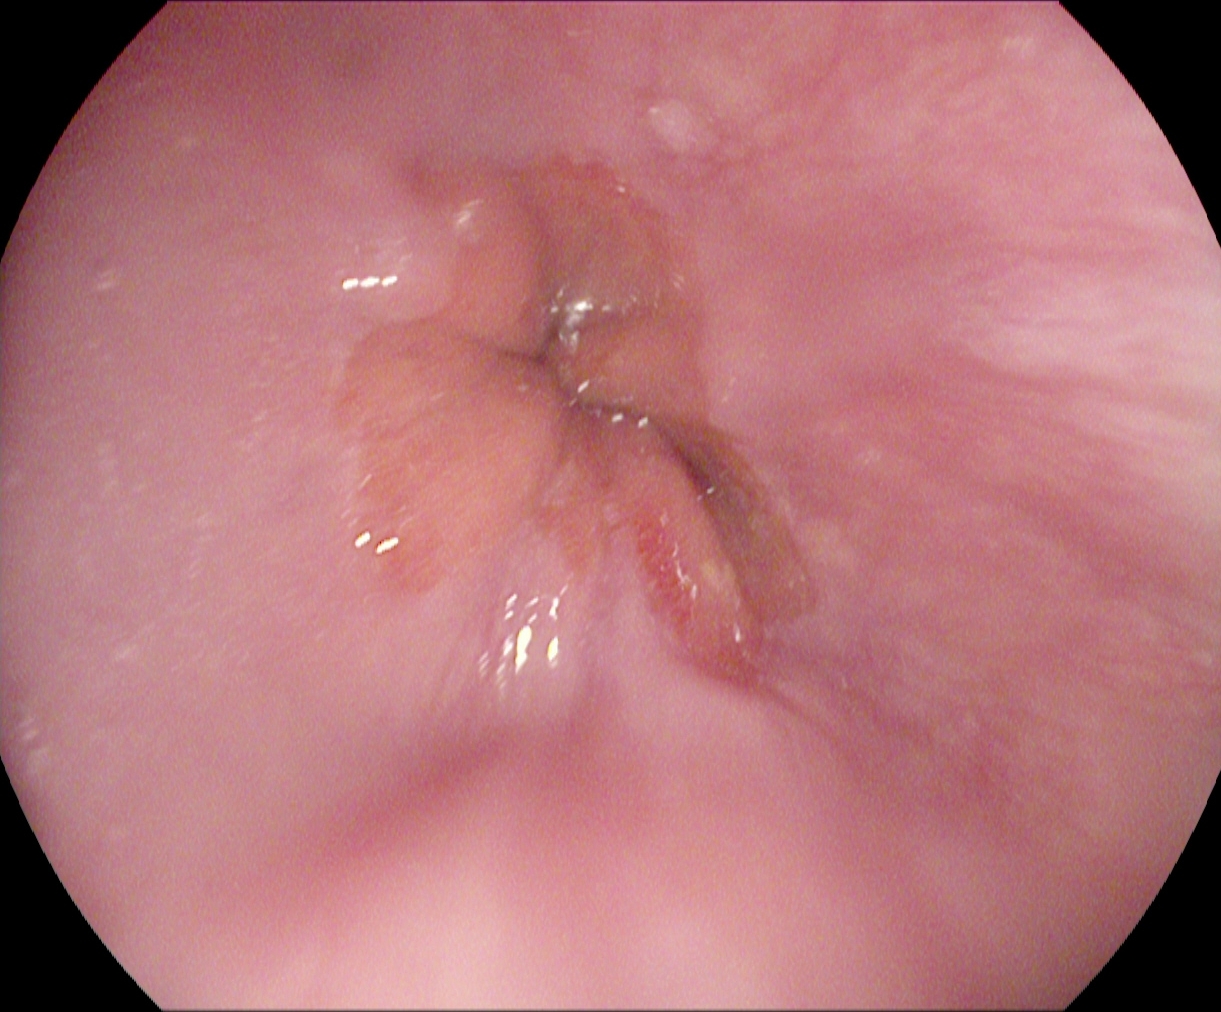EGD — reflux esophagitis, Los Angeles grade A.